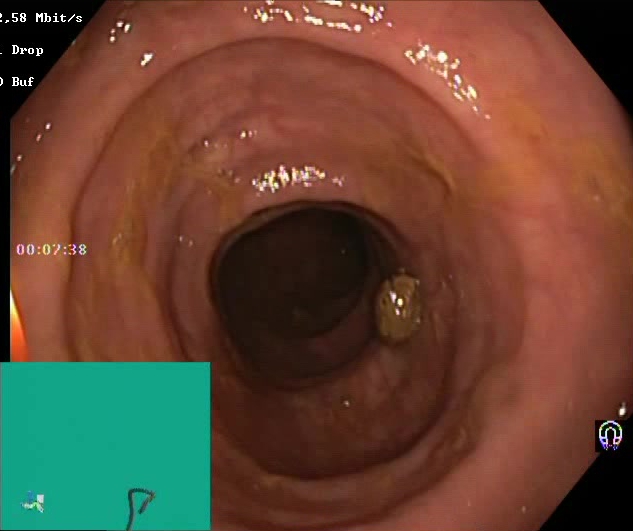PROCEDURE: Lower-GI endoscopy.
FINDINGS: Boston Bowel Preparation Scale score 2–3 (adequate preparation).